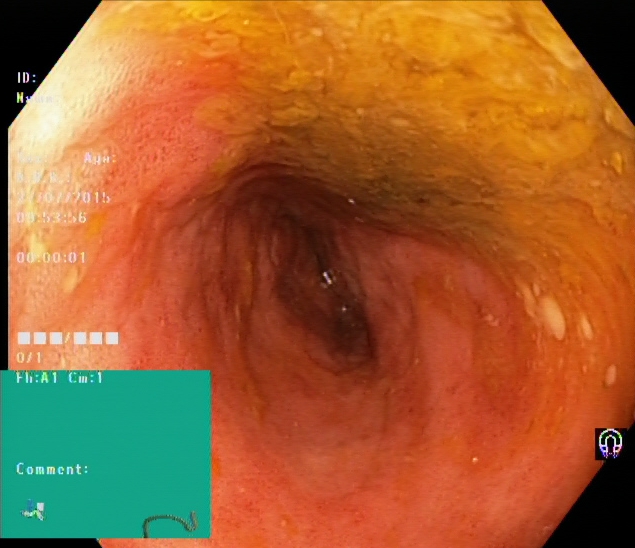PROCEDURE: Lower gastrointestinal endoscopy.
FINDINGS: Ulcerative colitis, Mayo endoscopic subscore 2.